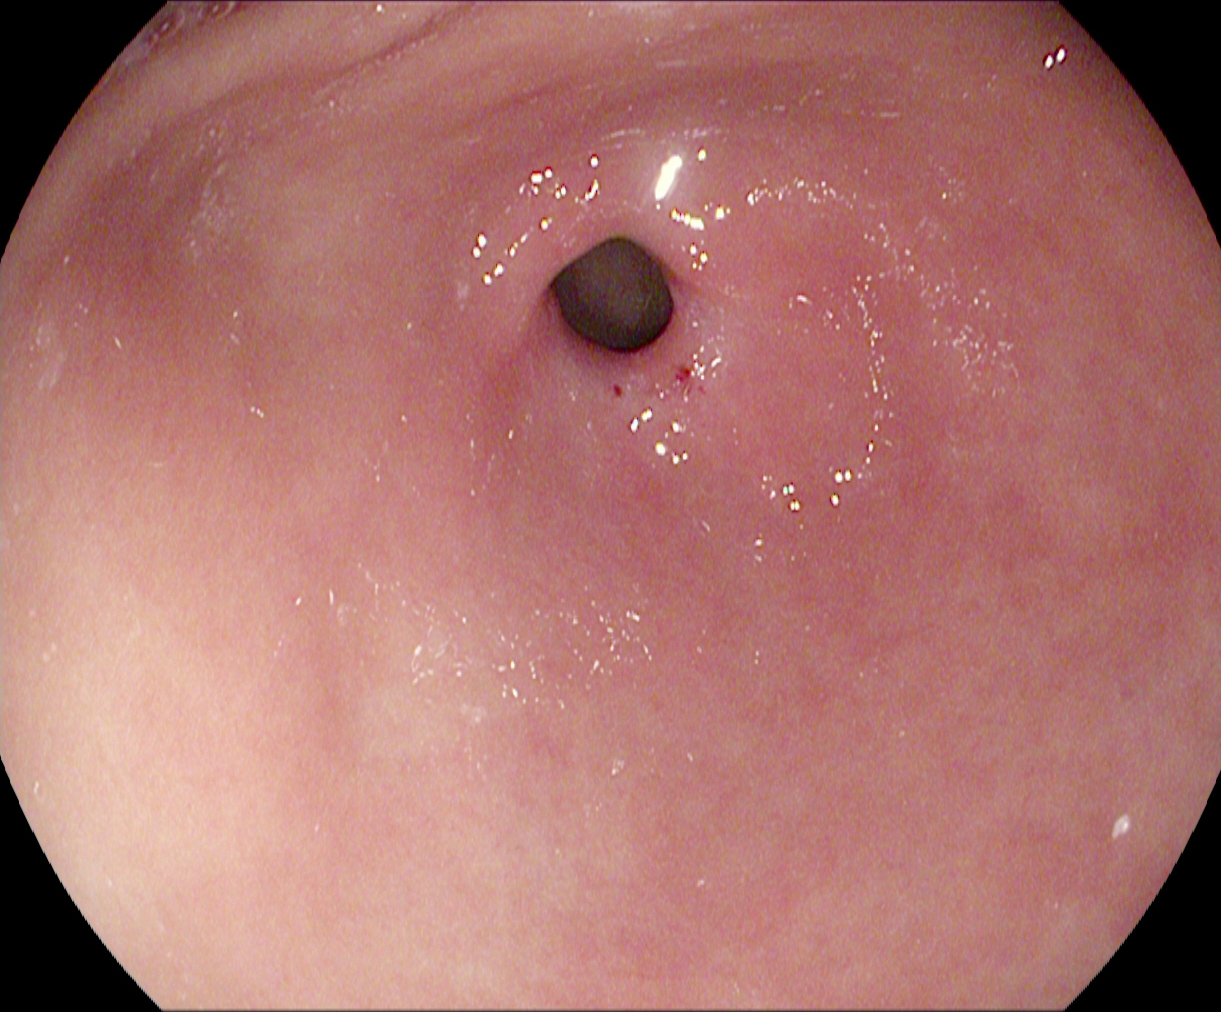modality: EGD | category: anatomical landmark | finding: pylorus